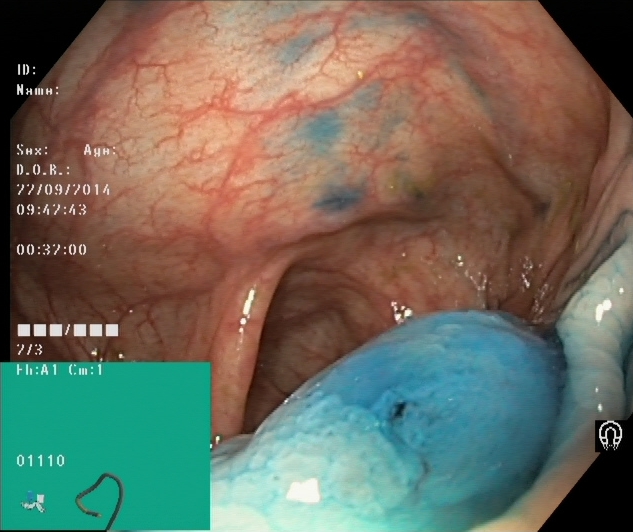Endoscopic image of the lower GI tract showing dyed and lifted polyp (pre-resection).